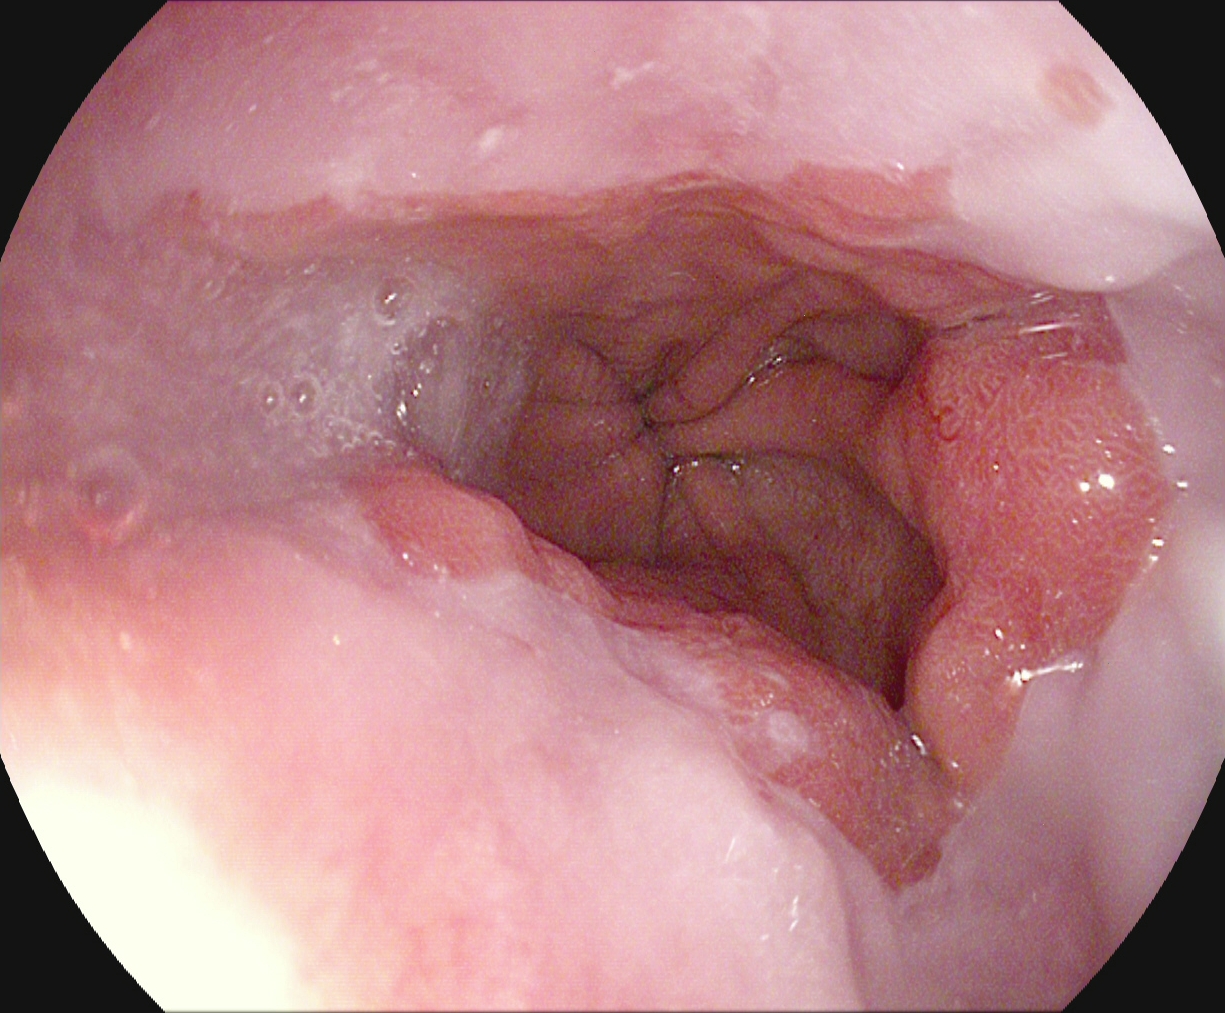modality: EGD; category: pathological finding; finding: reflux esophagitis, Los Angeles grade A